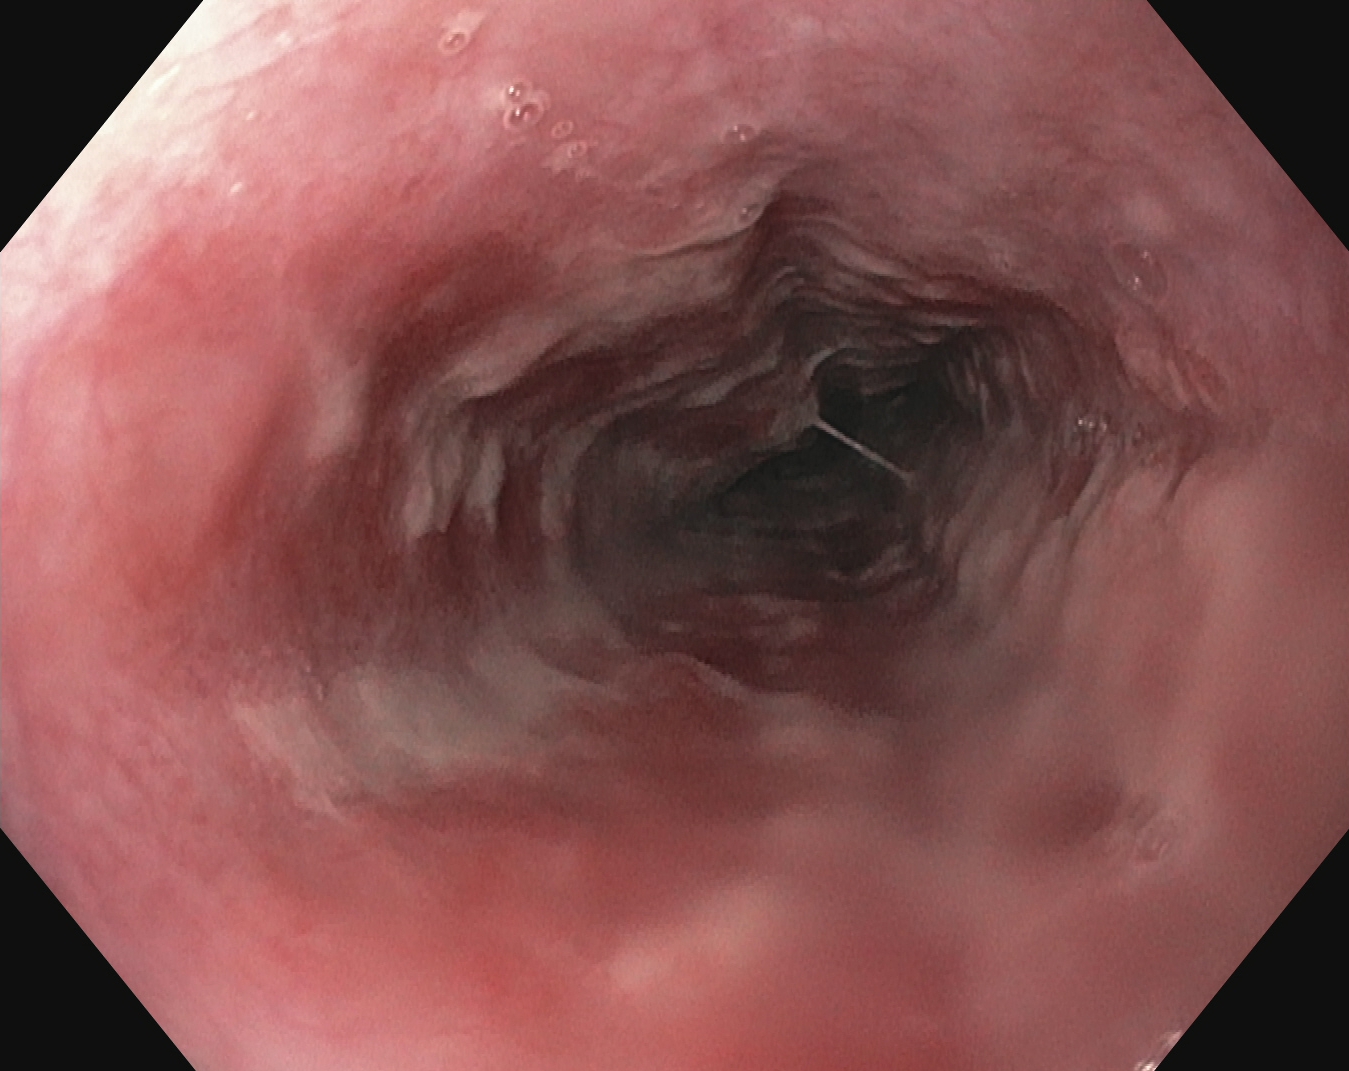Gastroscopy. Tract: upper GI tract. Pathological finding. Finding: reflux esophagitis, Los Angeles grade B–D.